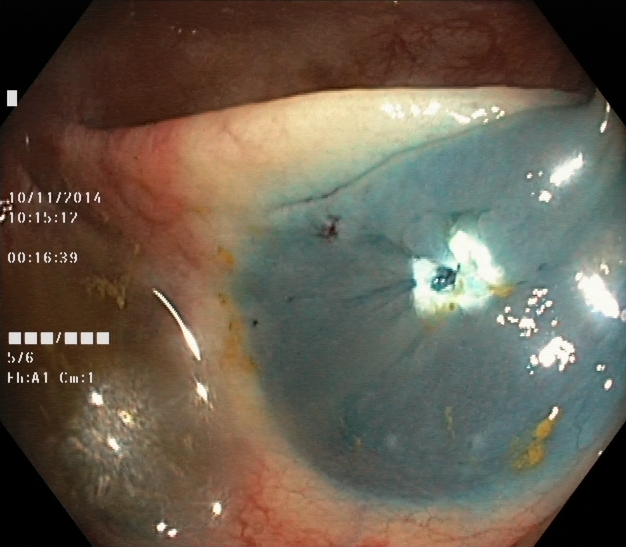dyed resection margins (post-polypectomy).